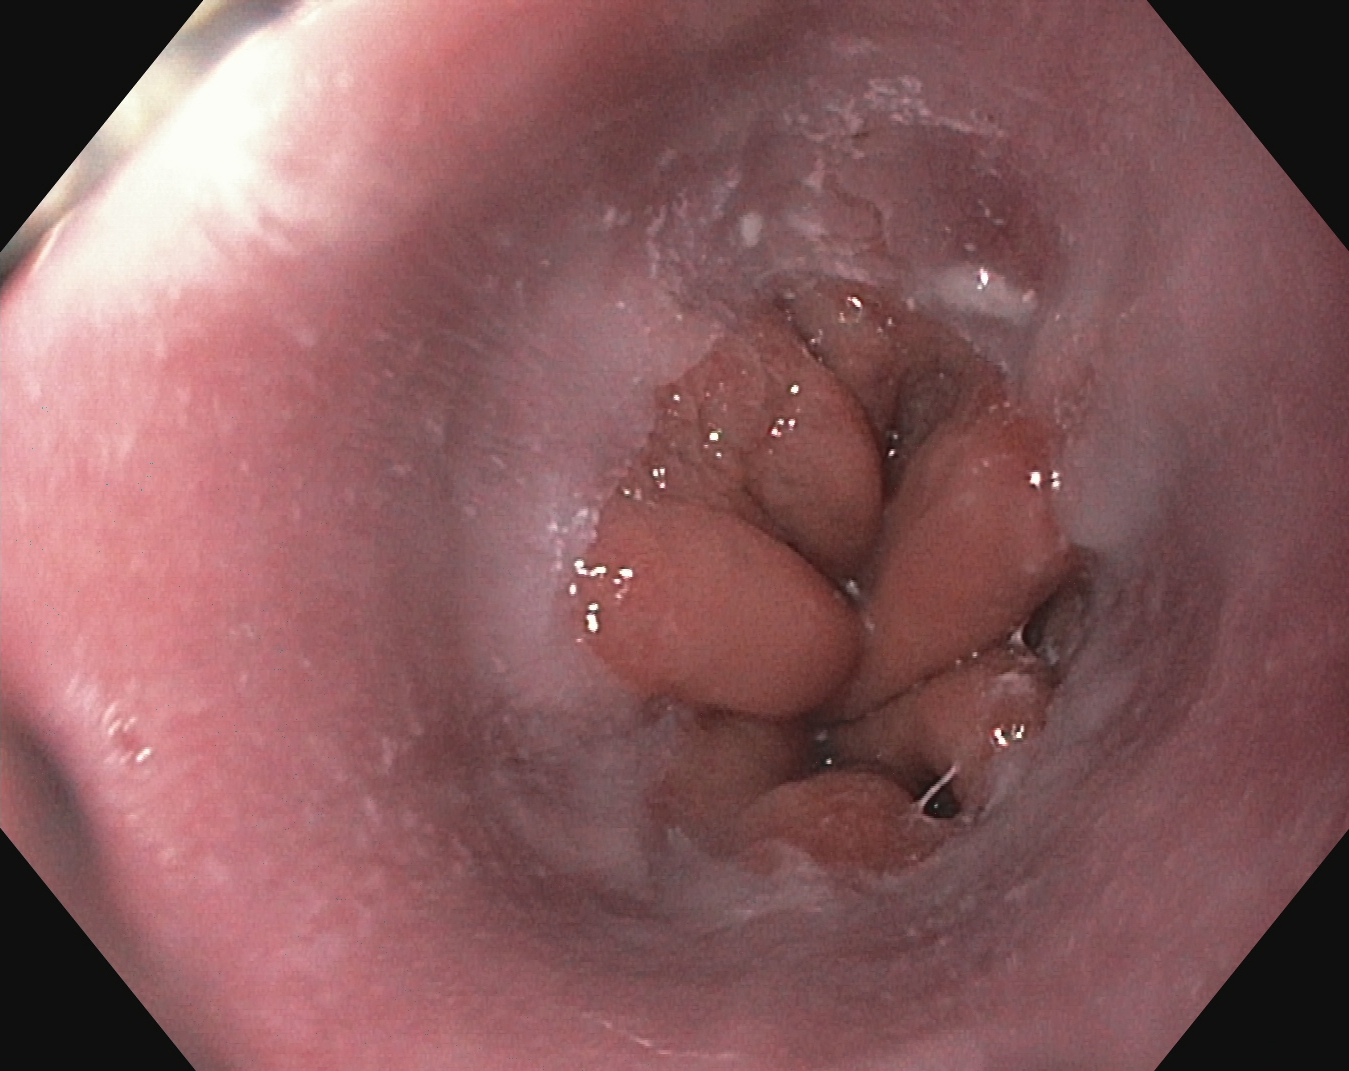EGD. Tract: upper GI tract. Anatomical landmark. Finding: Z-line (gastroesophageal junction).